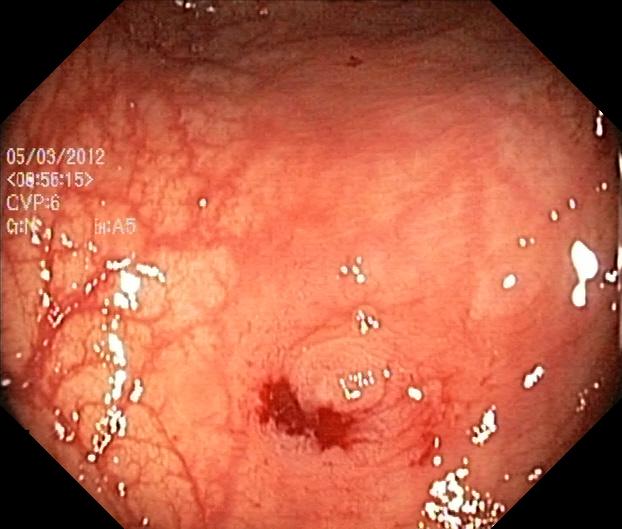{"modality": "lower gastrointestinal endoscopy", "tract": "lower GI tract", "finding": "colorectal polyp(s)"}